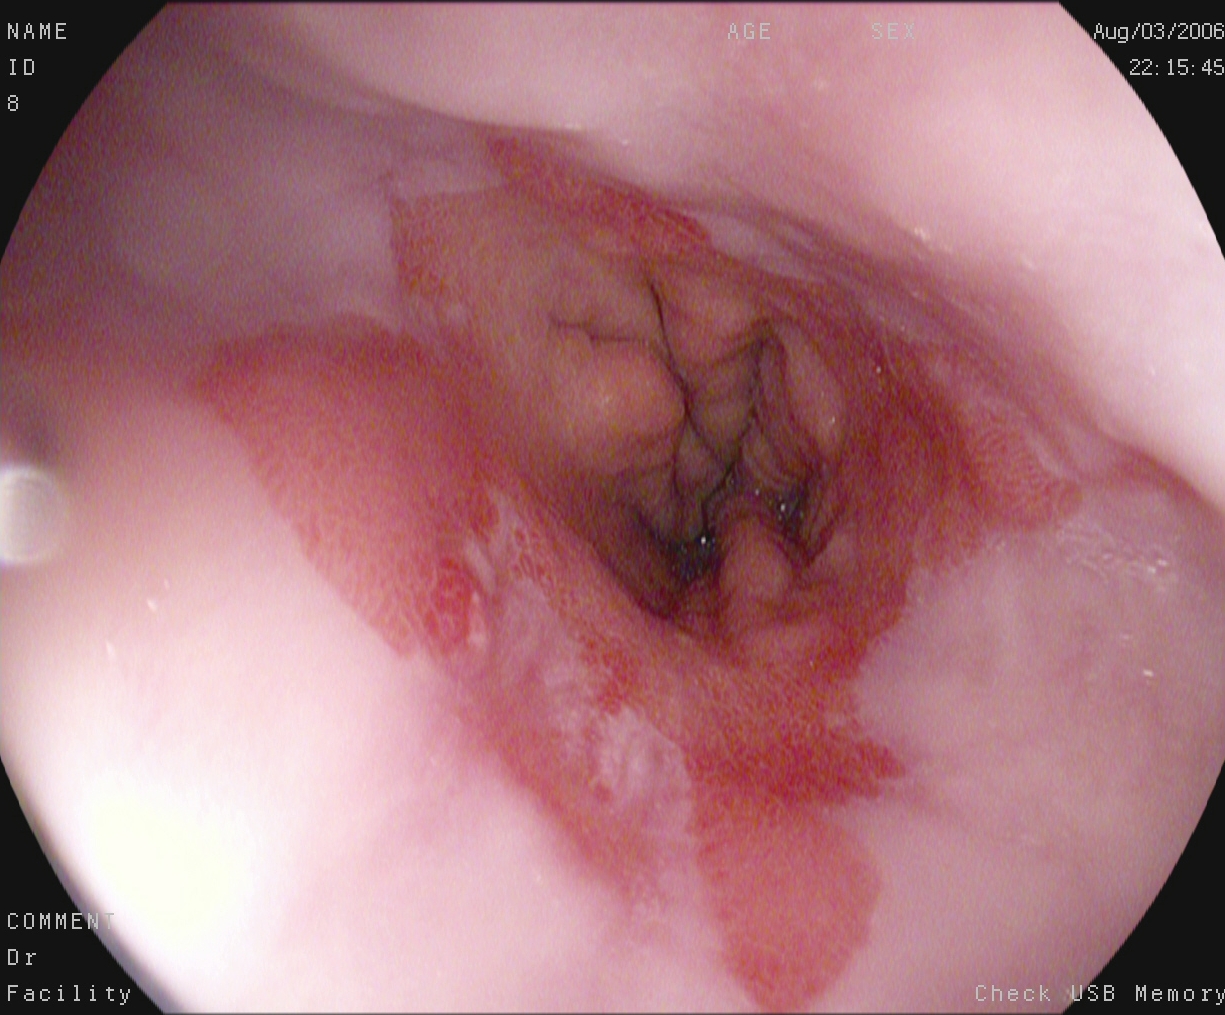Gastroscopy. Tract: upper GI tract. Finding: reflux esophagitis, Los Angeles grade B–D.